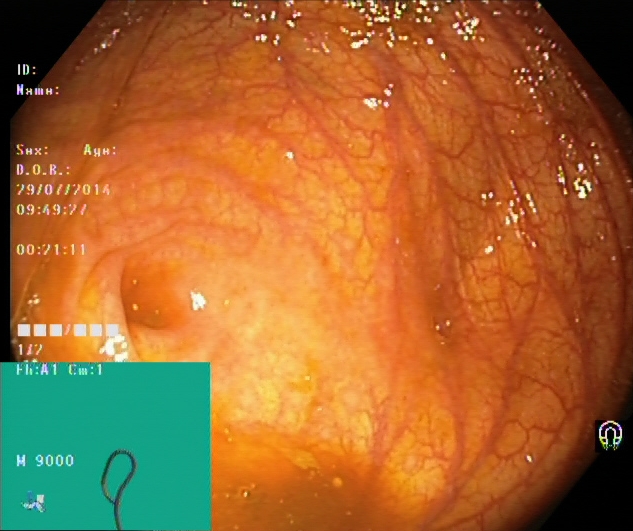PROCEDURE: Lower-GI endoscopy.
FINDINGS: Cecum.